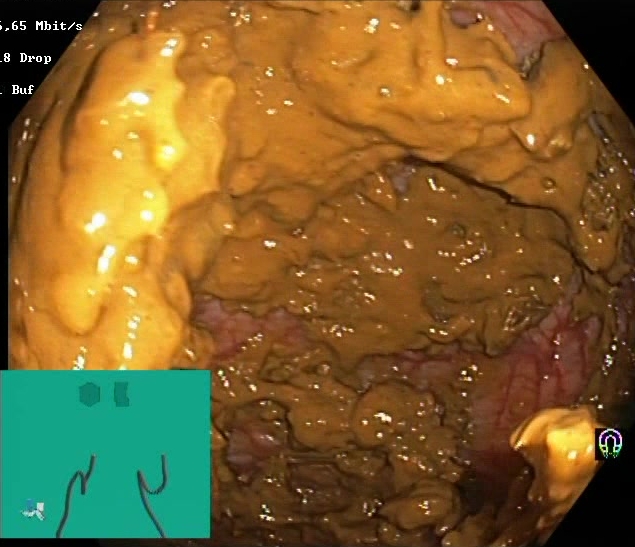Boston Bowel Preparation Scale score 0–1 (inadequate preparation).